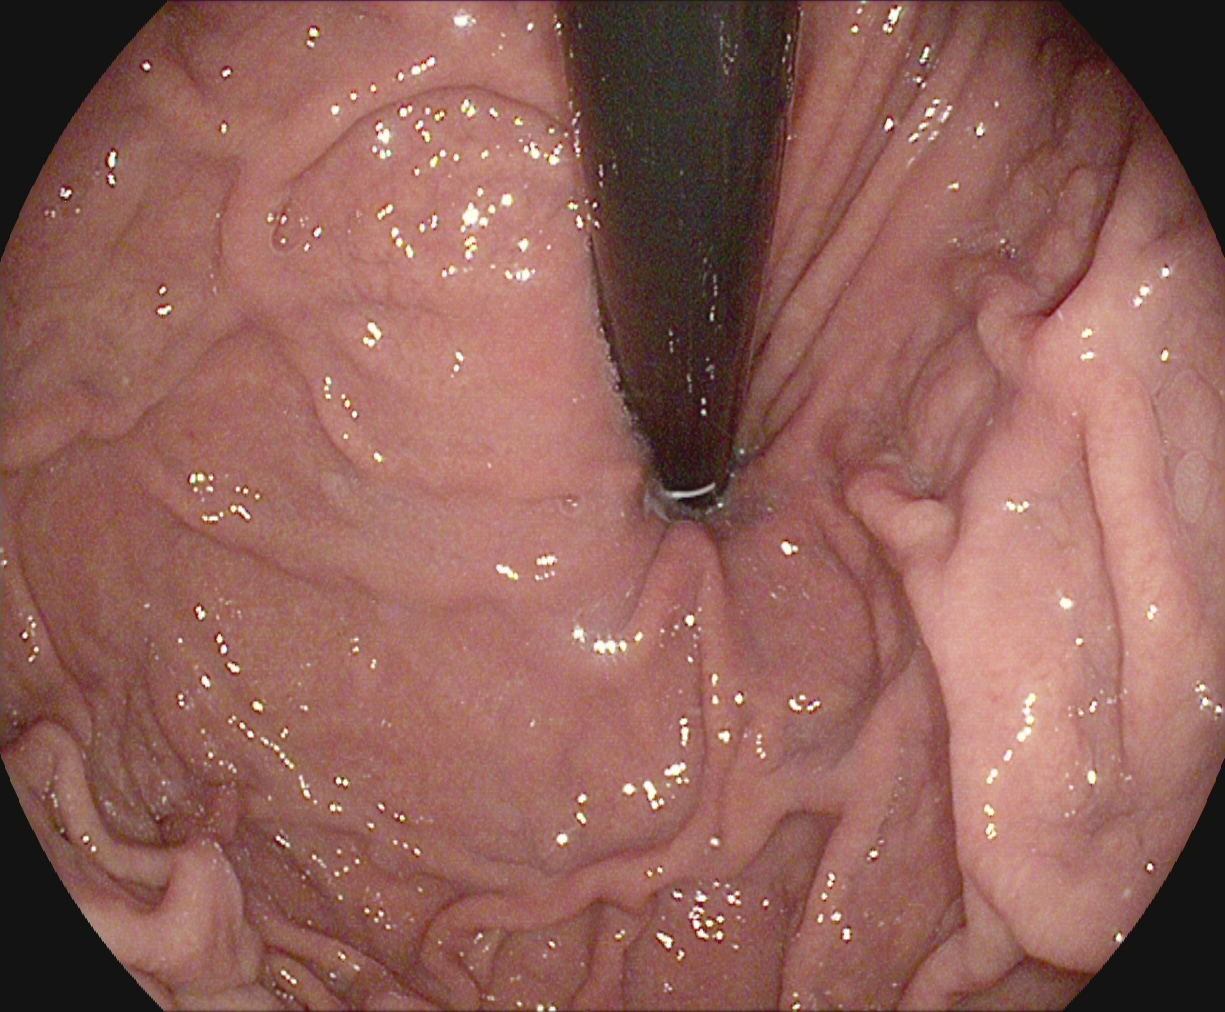EGD image of the upper GI tract showing stomach in retroflexion.